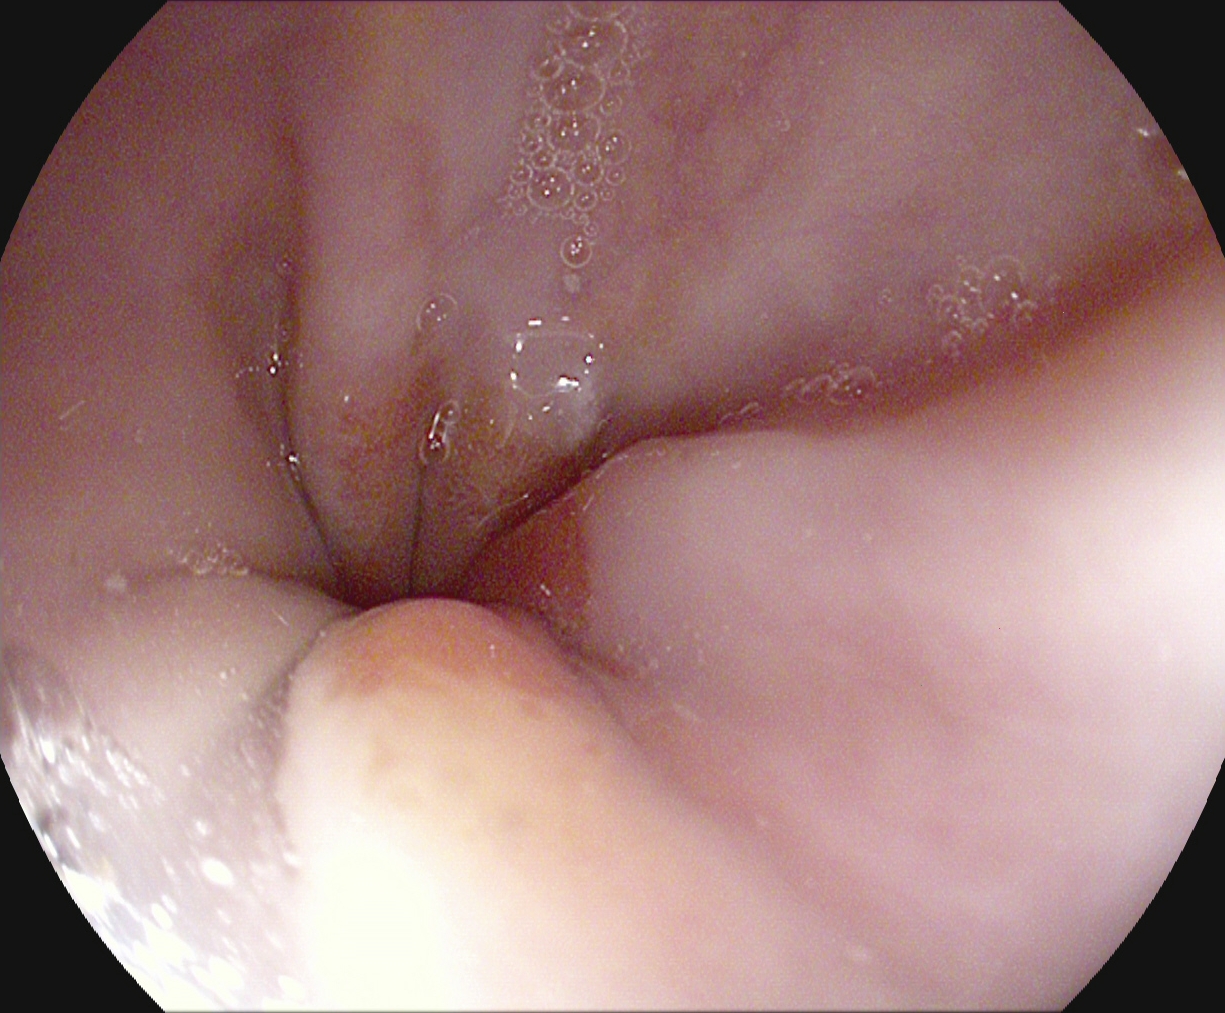{"modality": "EGD", "finding": "Z-line (gastroesophageal junction)"}